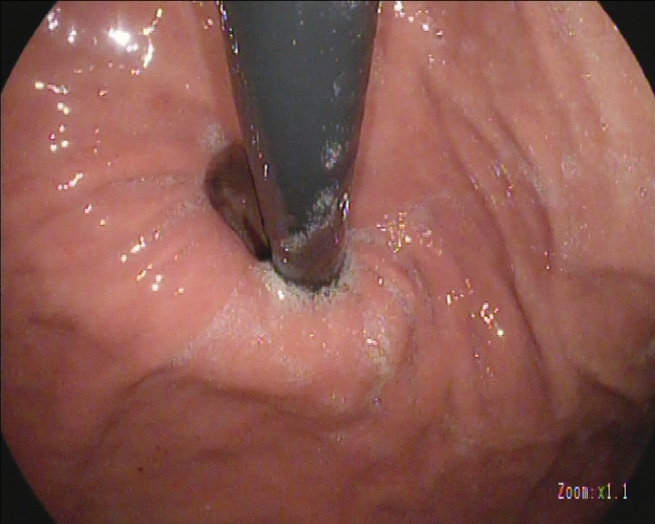modality: esophagogastroduodenoscopy; tract: upper GI tract; finding: stomach in retroflexion